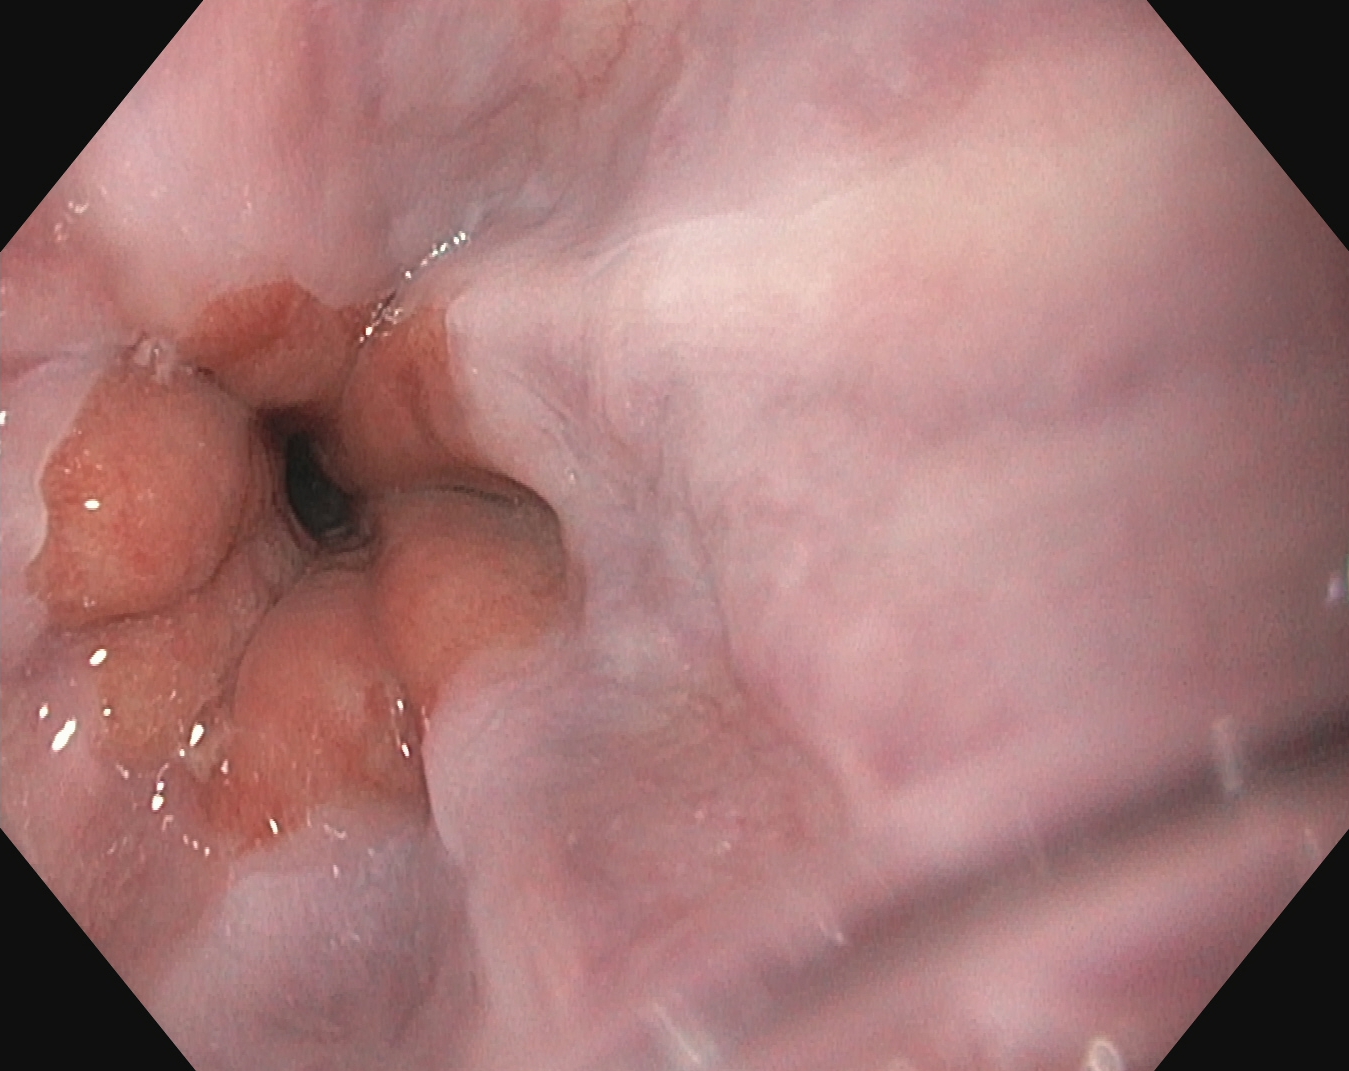PROCEDURE: Gastroscopy.
CATEGORY: Anatomical landmark.
FINDINGS: Z-line (gastroesophageal junction).